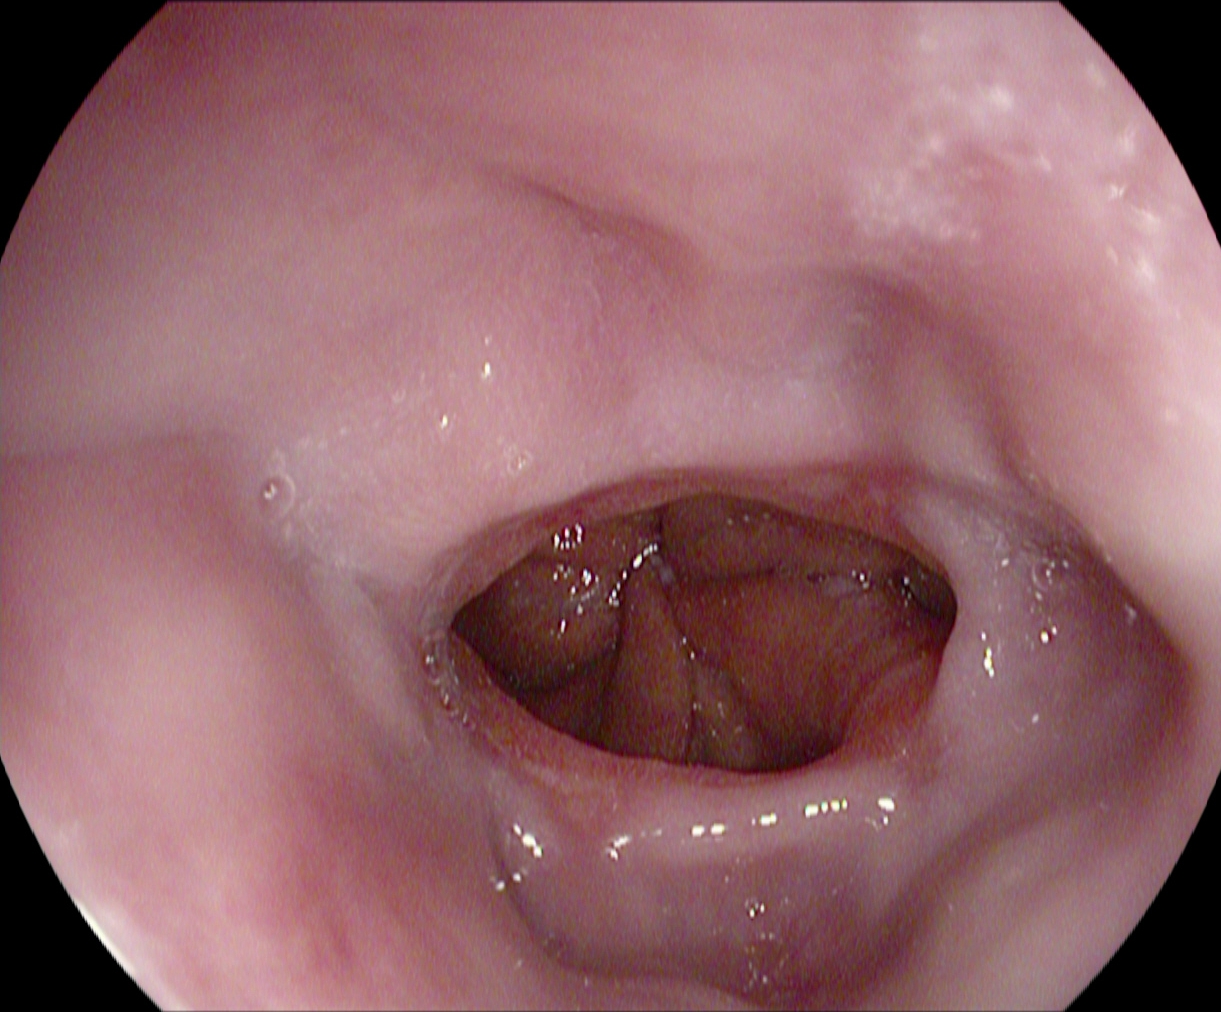This endoscopic image shows reflux esophagitis, LA grade A.